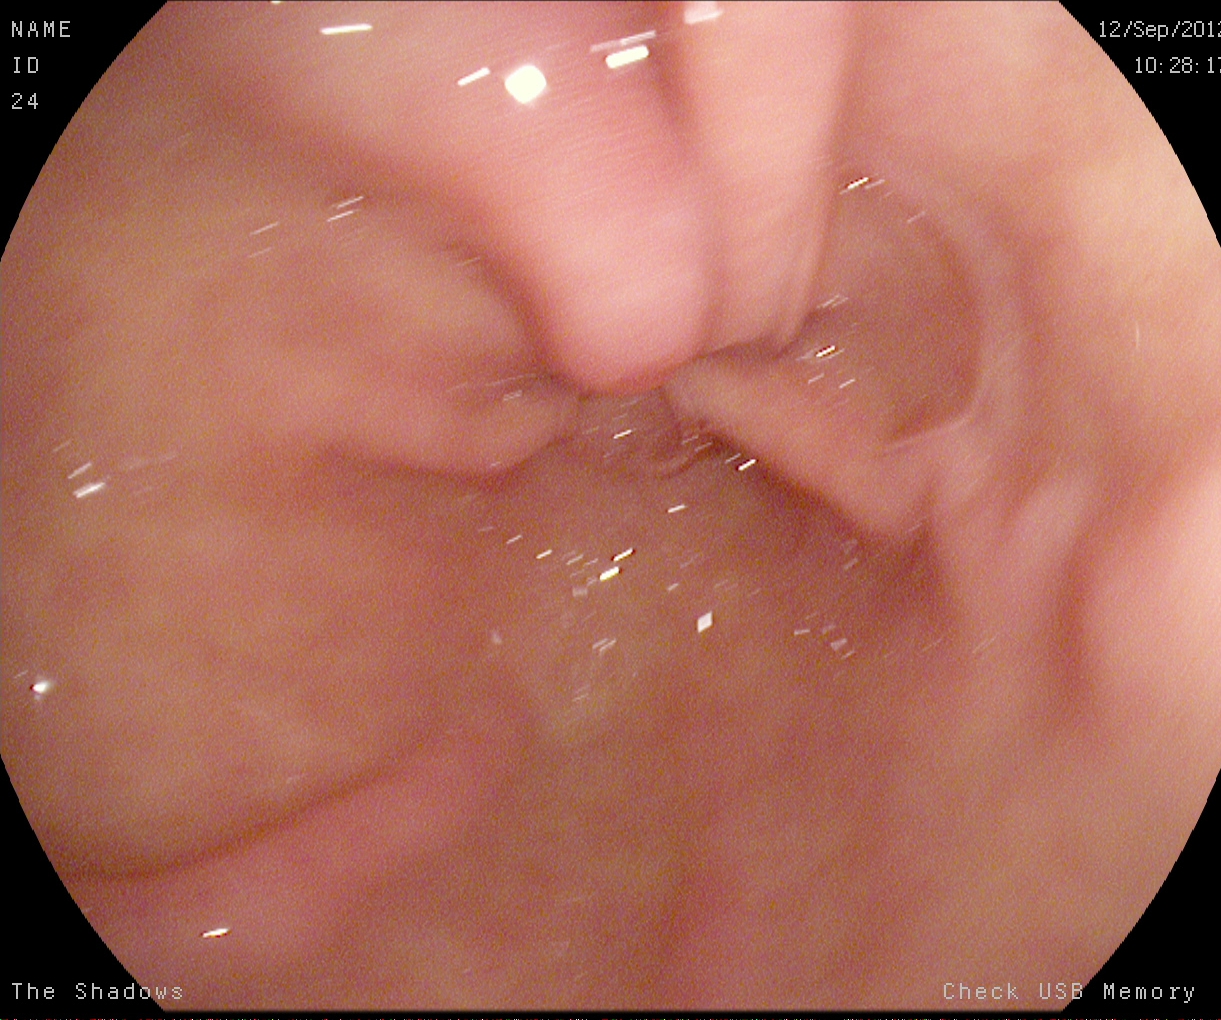{"modality": "esophagogastroduodenoscopy", "finding": "pylorus"}